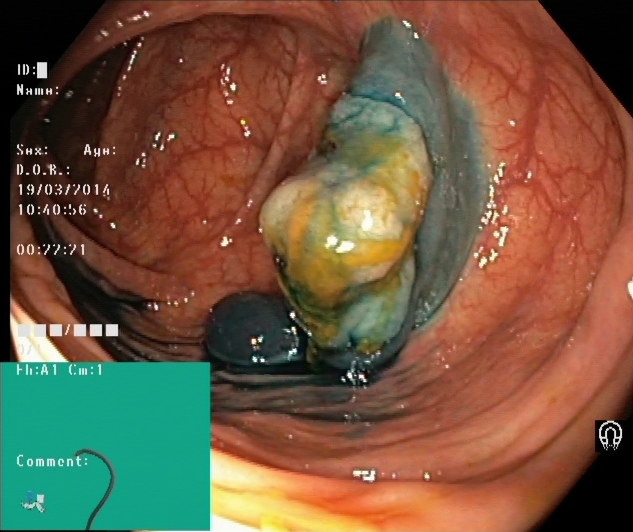Endoscopic frame of the lower GI tract showing dyed and lifted polyp (pre-resection).